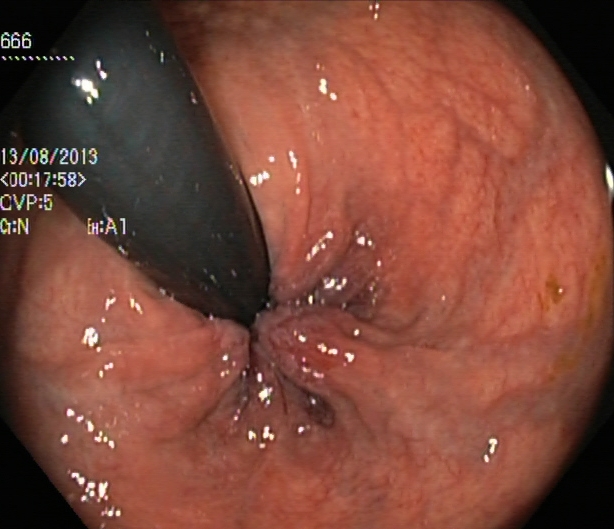Colonoscopy. Tract: lower GI tract. Finding: rectum in retroflexion.